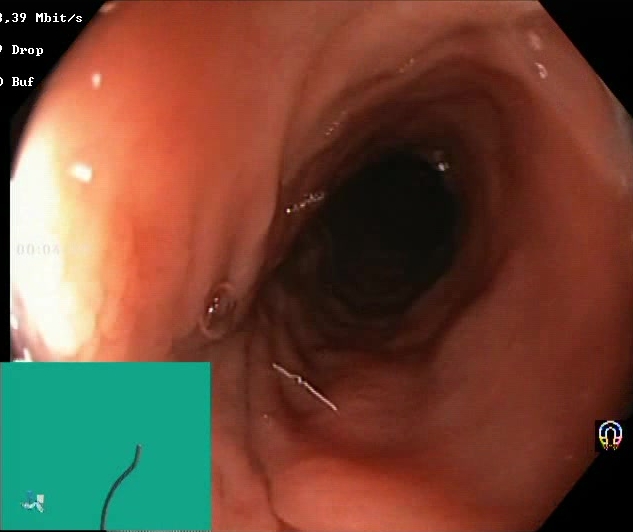Endoscopy image of the lower GI tract showing Boston Bowel Preparation Scale score 2–3 (adequate preparation).